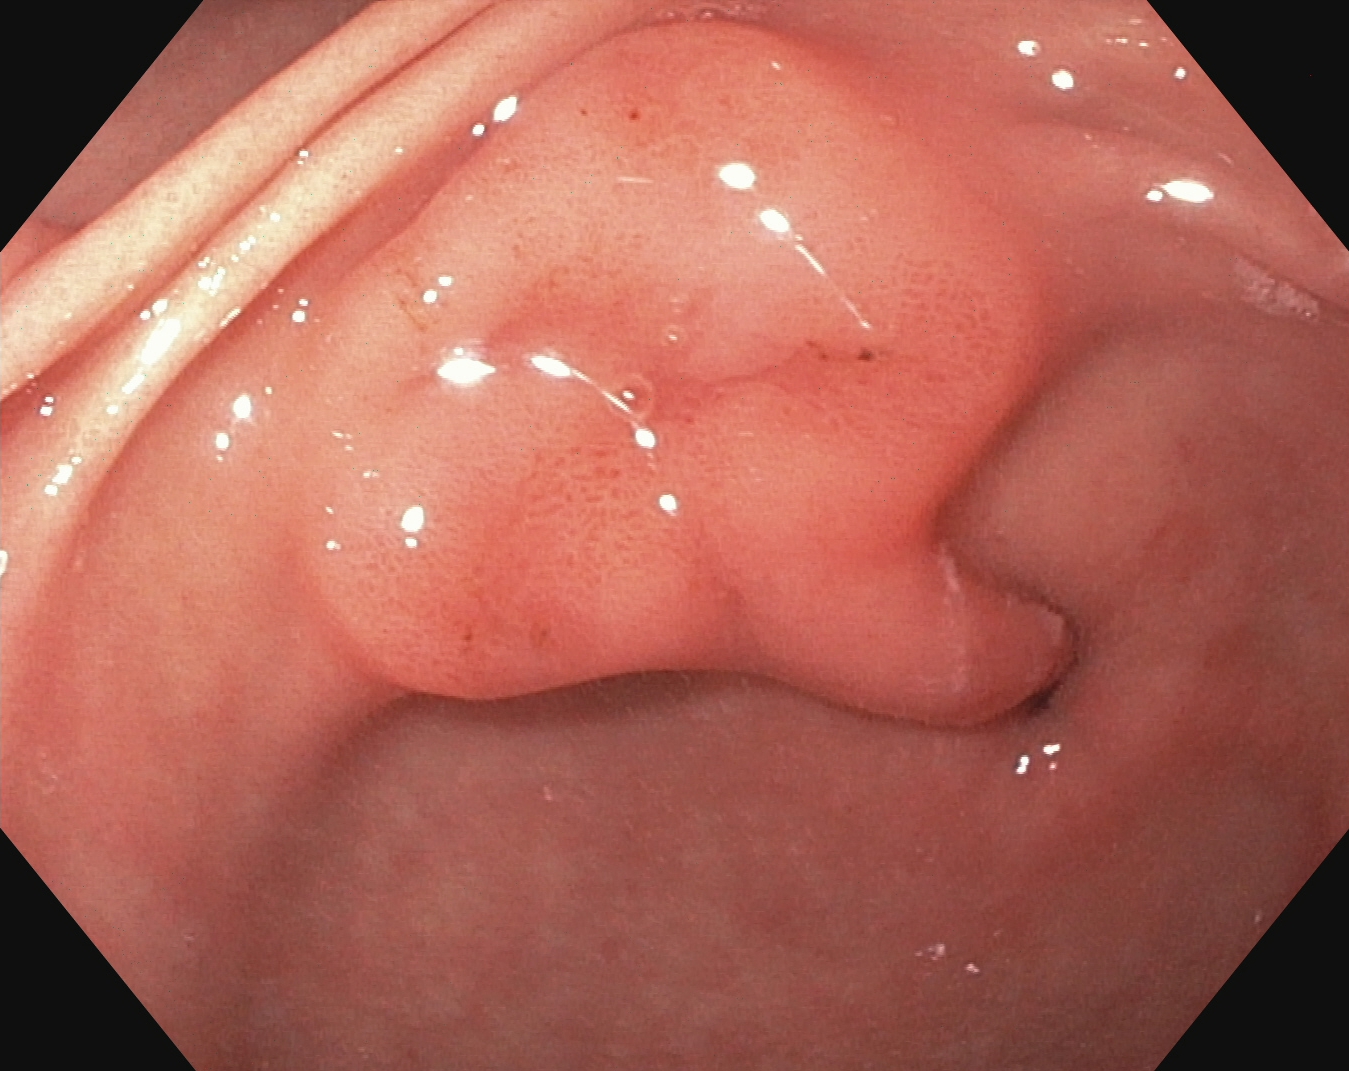Esophagogastroduodenoscopy. Tract: upper GI tract. Anatomical landmark. Finding: pylorus.